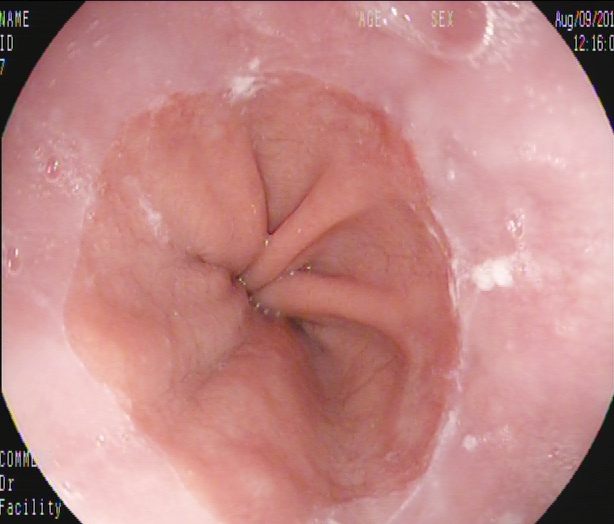modality: gastroscopy | tract: upper GI tract | category: anatomical landmark | finding: Z-line (gastroesophageal junction)